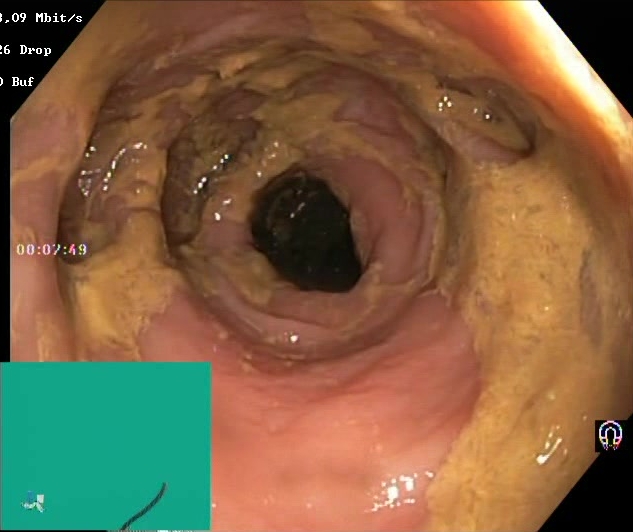modality: colonoscopy | tract: lower GI tract | category: mucosal-view quality | finding: Boston Bowel Preparation Scale score 0–1 (inadequate preparation)